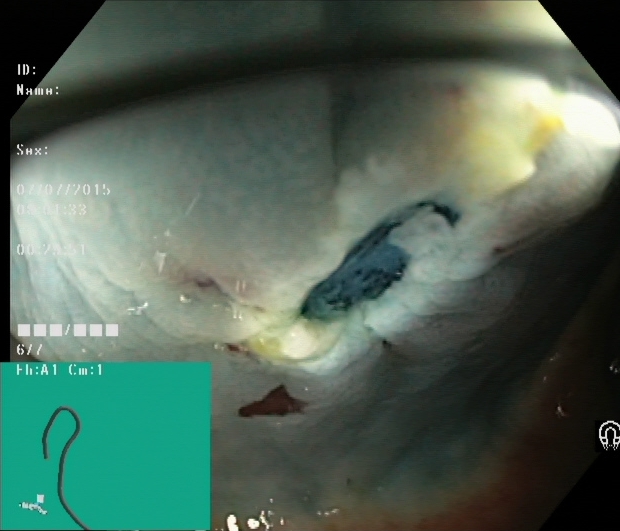{"modality": "lower gastrointestinal endoscopy", "tract": "lower GI tract", "finding": "dyed resection margins (post-polypectomy)"}